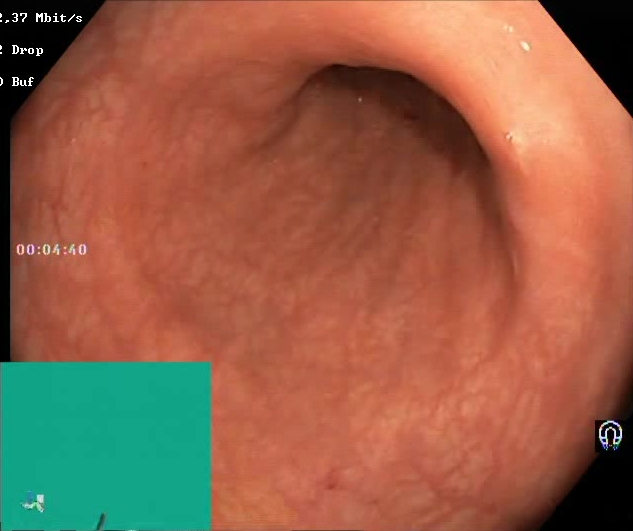This endoscopic image of the lower GI tract shows Boston Bowel Preparation Scale score 2–3 (adequate preparation).